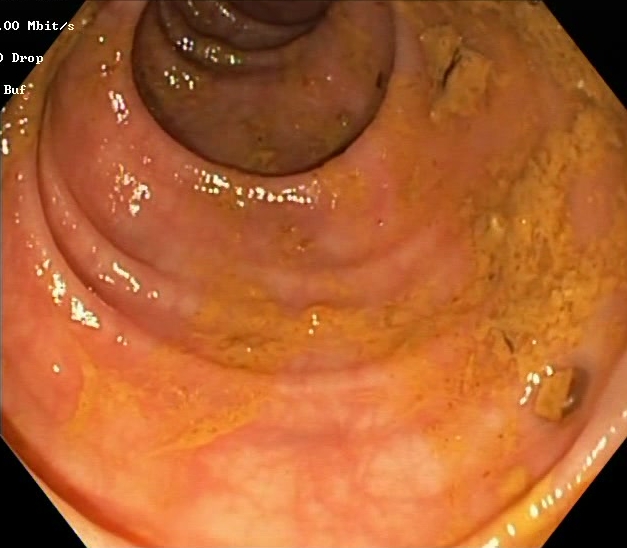GI endoscopy image of the lower GI tract showing BBPS score 0–1 (inadequate preparation).